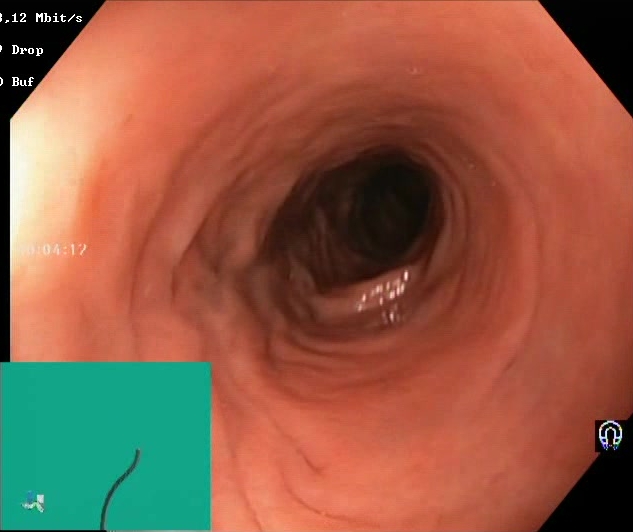Boston Bowel Preparation Scale score 2–3 (adequate preparation).